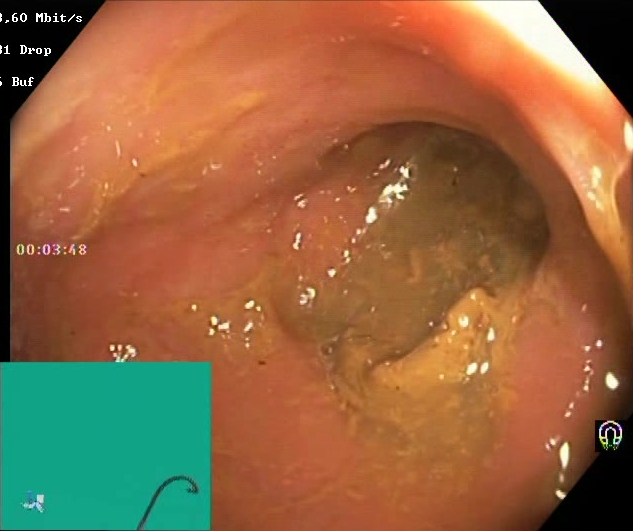Lower-GI endoscopy — Boston Bowel Preparation Scale score 0–1 (inadequate preparation).